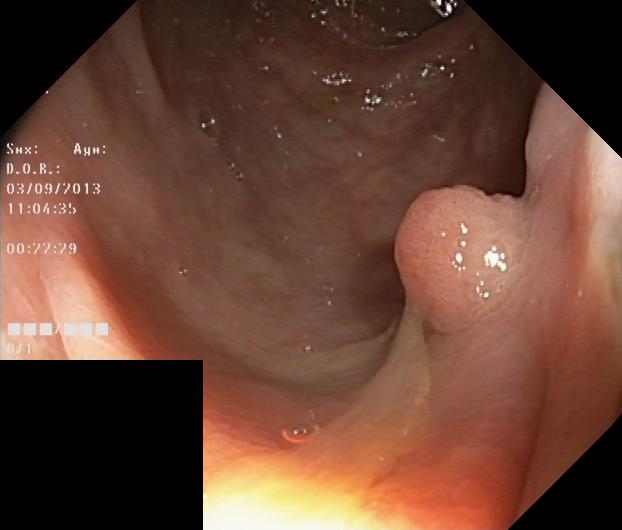Colorectal polyp(s).